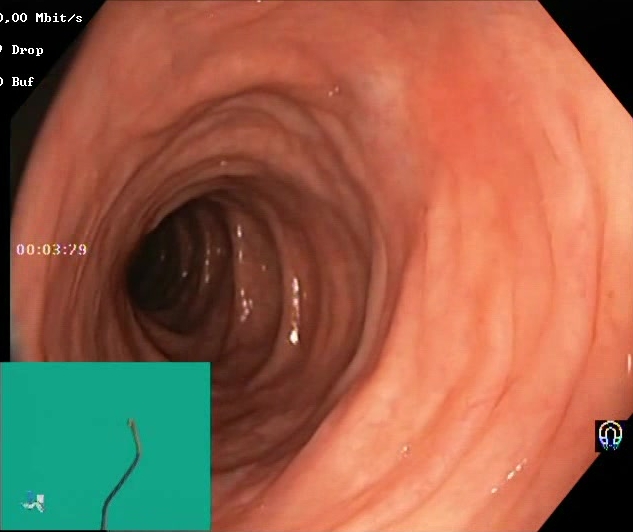Boston Bowel Preparation Scale score 2–3 (adequate preparation).